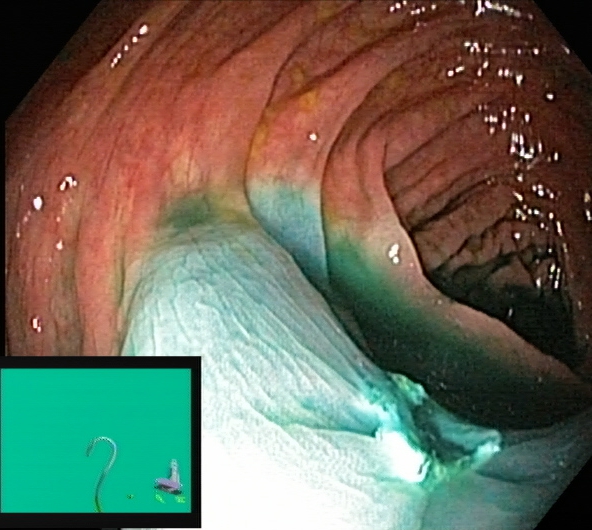This endoscopy frame shows dyed resection margins (post-polypectomy).